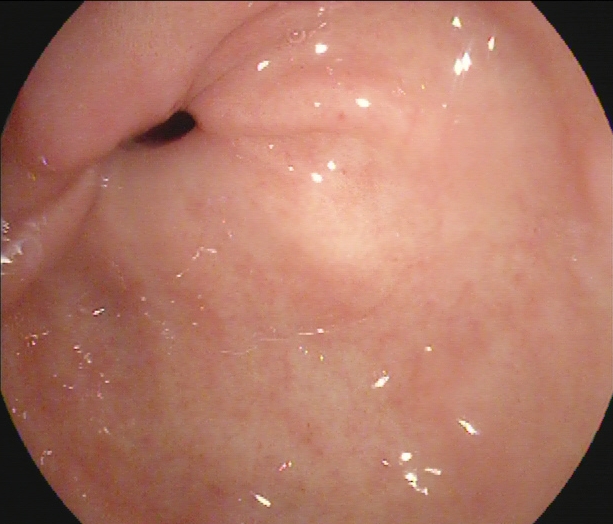Upper-GI endoscopy — pylorus.